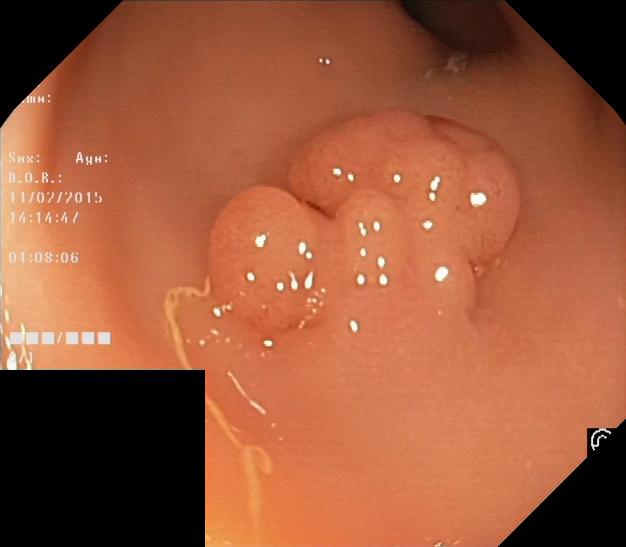This endoscopy frame shows colorectal polyp(s).